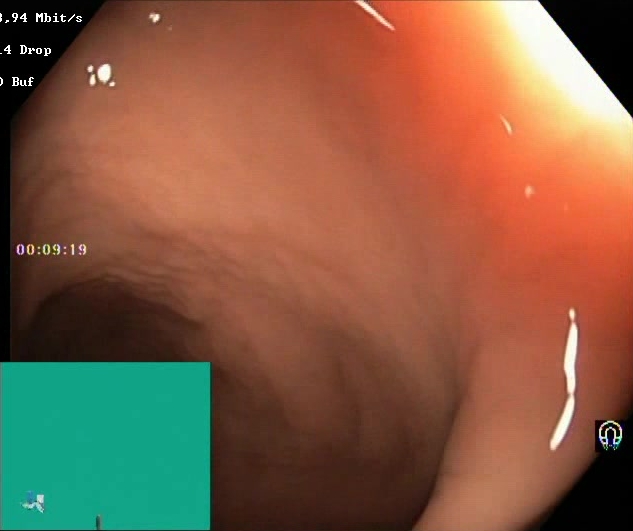{"modality": "lower-GI endoscopy", "finding": "BBPS score 2\u20133 (adequate preparation)"}